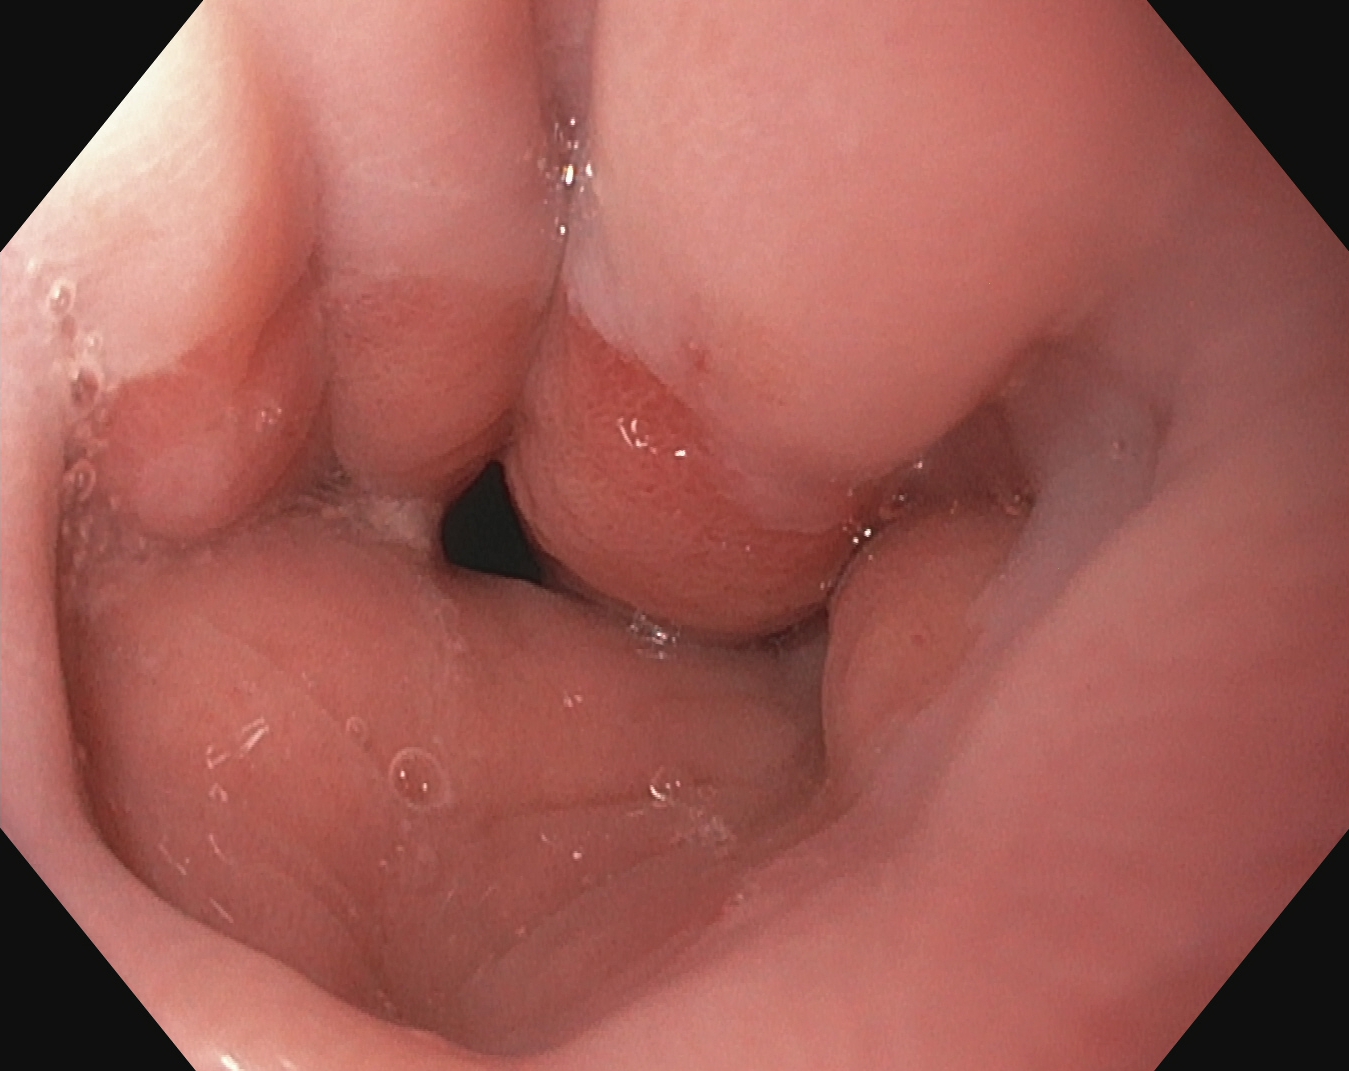Upper-GI endoscopy — Z-line (gastroesophageal junction).